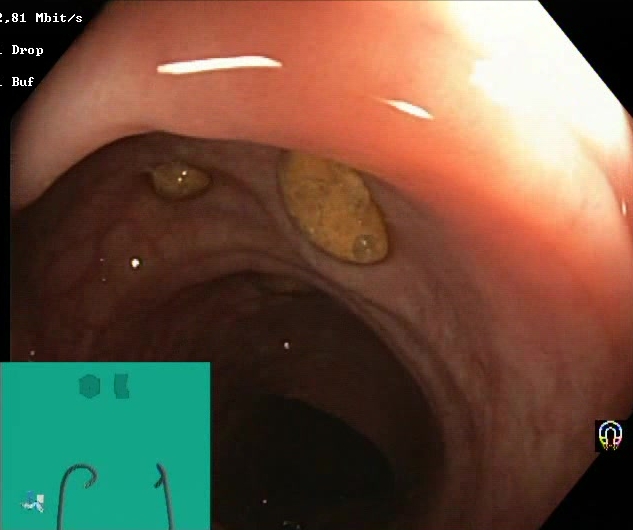Lower gastrointestinal endoscopy. Tract: lower GI tract. Mucosal-view quality. Finding: impacted stool.